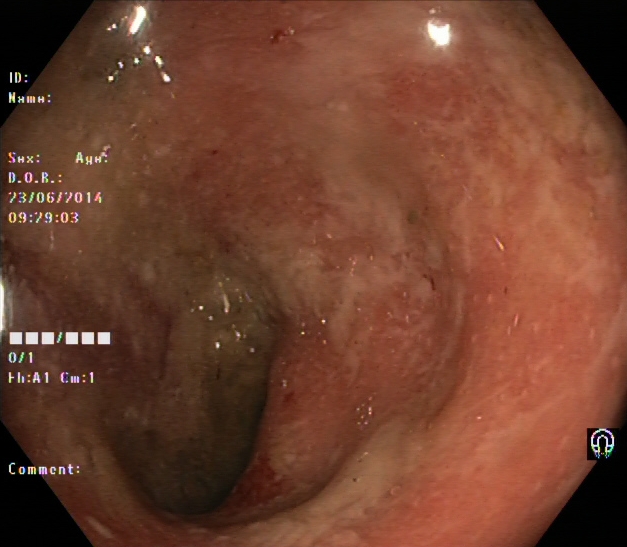Lower-GI endoscopy. Finding: ulcerative colitis, Mayo endoscopic subscore 2.